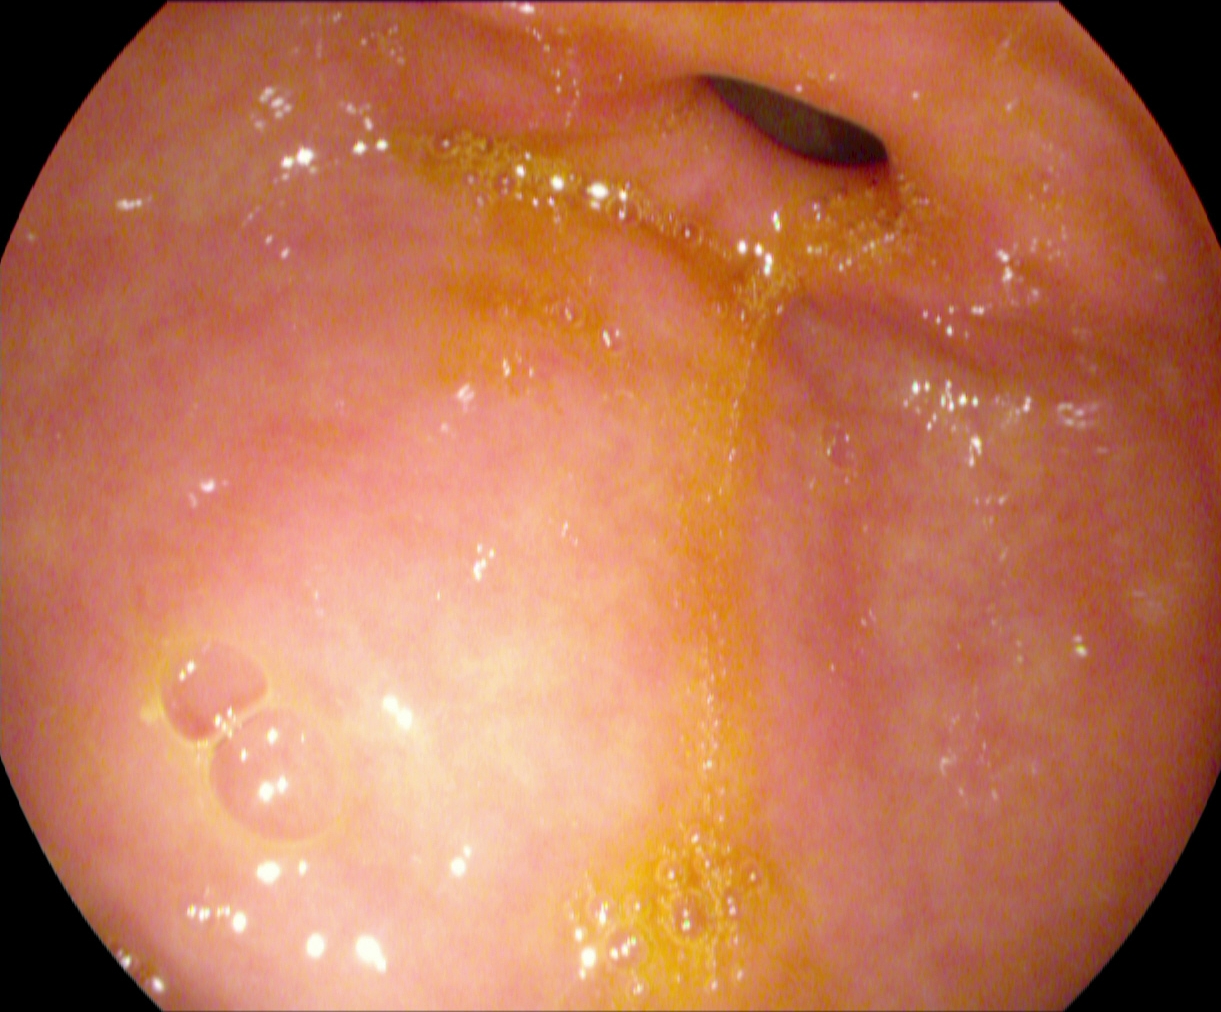Pylorus.